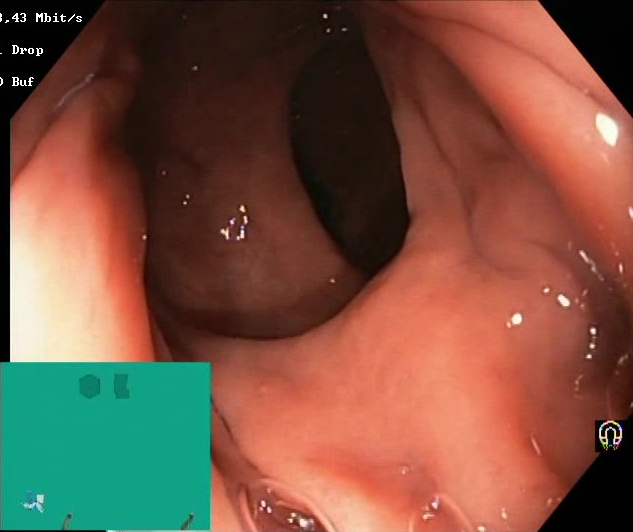{"modality": "lower-GI endoscopy", "tract": "lower GI tract", "finding": "BBPS score 2\u20133 (adequate preparation)"}